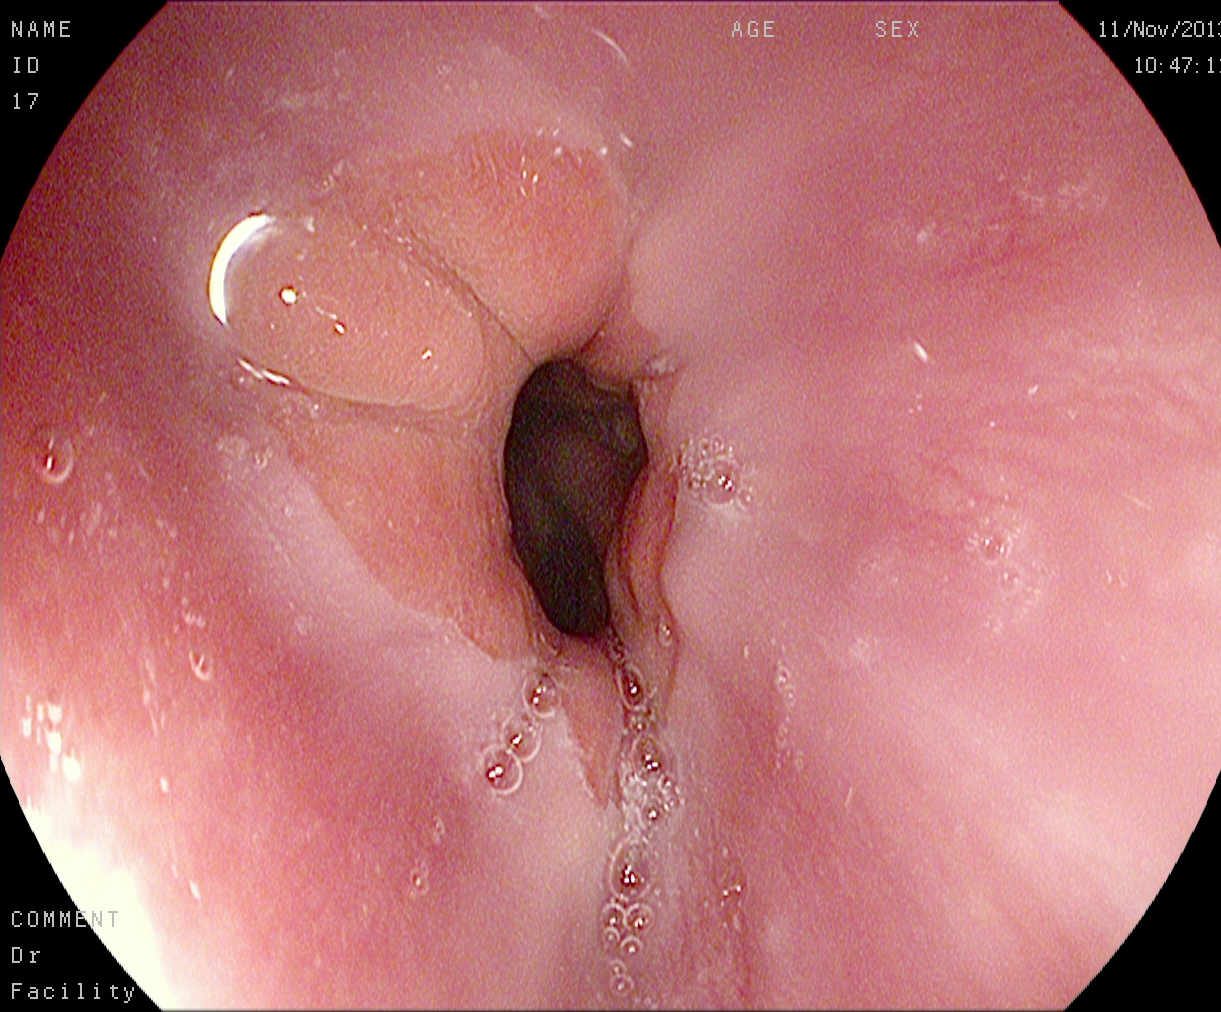EGD — Z-line (gastroesophageal junction).